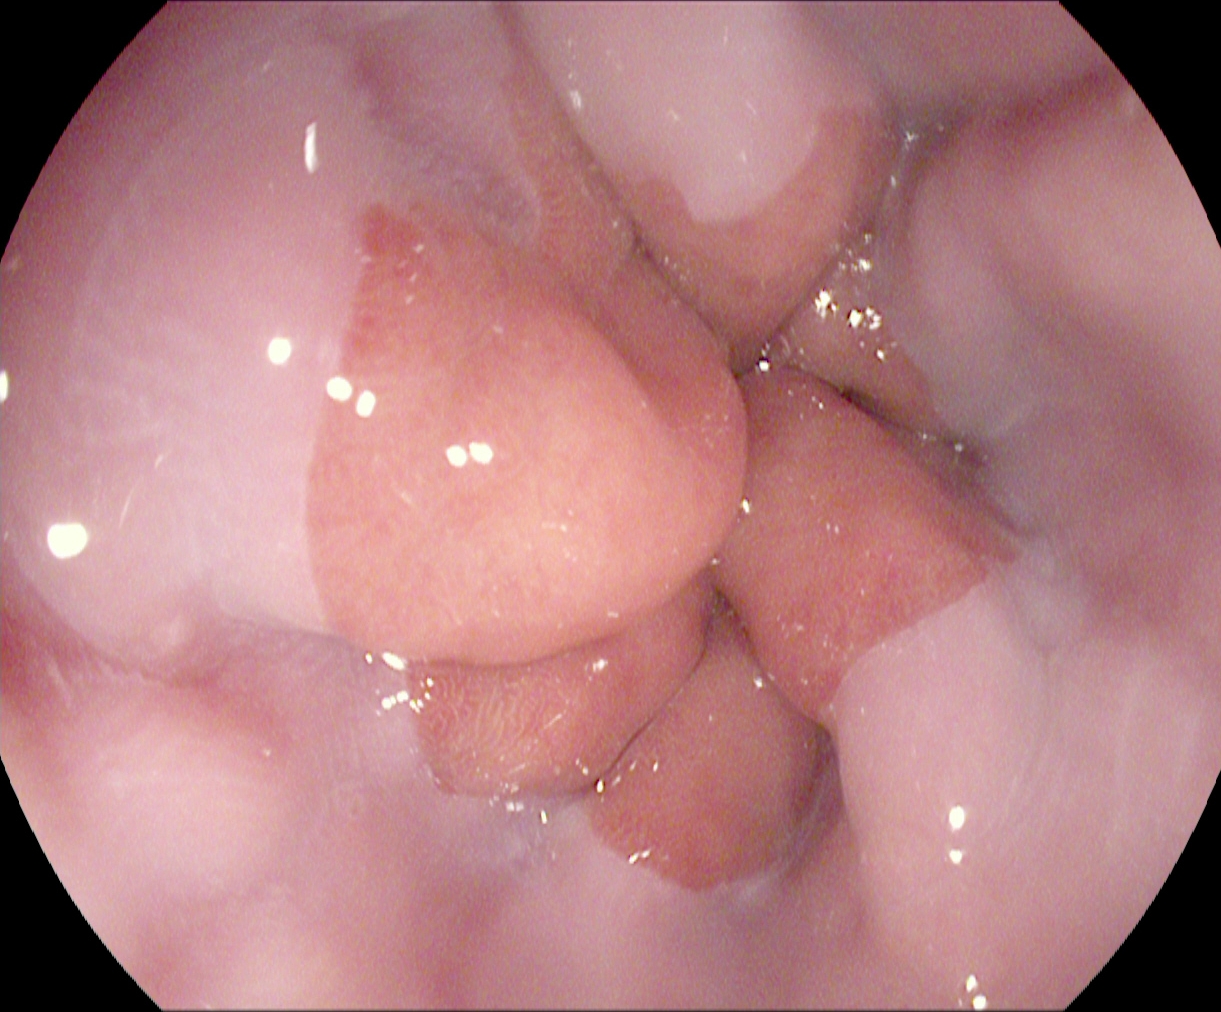modality: esophagogastroduodenoscopy; tract: upper GI tract; category: anatomical landmark; finding: Z-line (gastroesophageal junction)